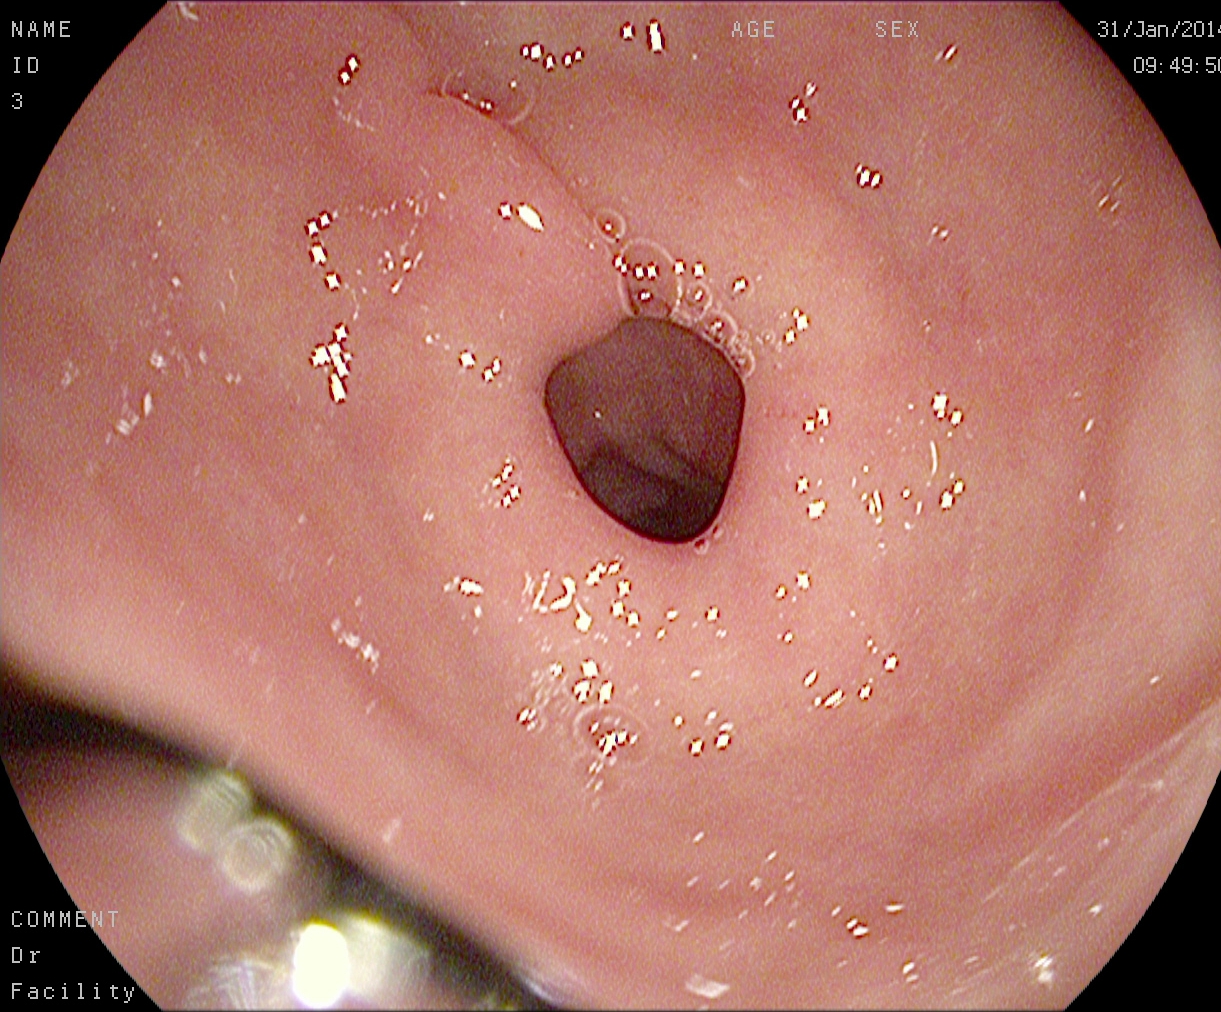EGD. Tract: upper GI tract. Finding: pylorus.